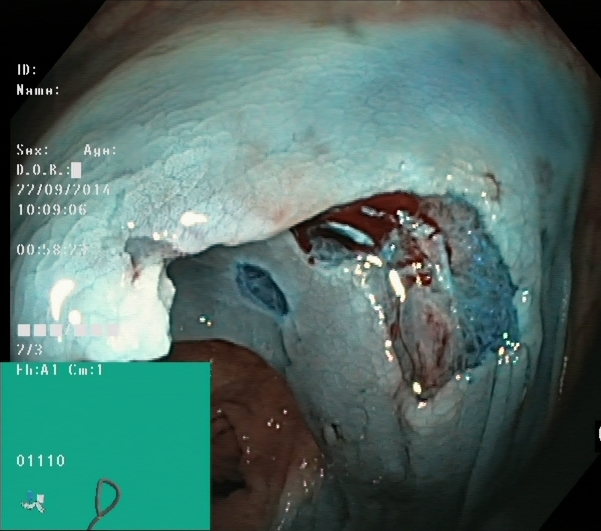{"modality": "colonoscopy", "finding": "dyed resection margins (post-polypectomy)"}